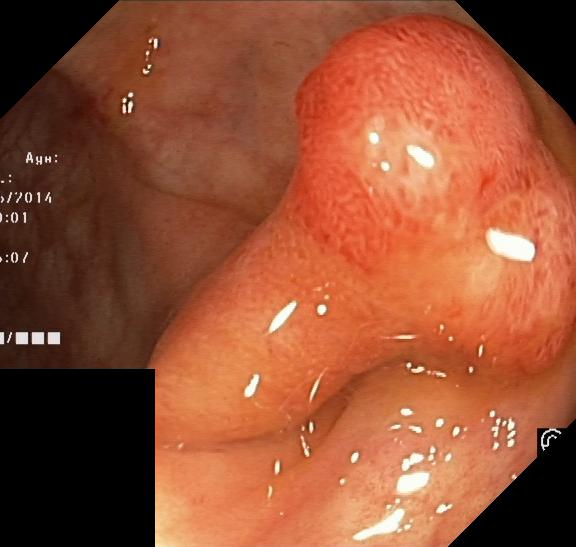colorectal polyp(s).